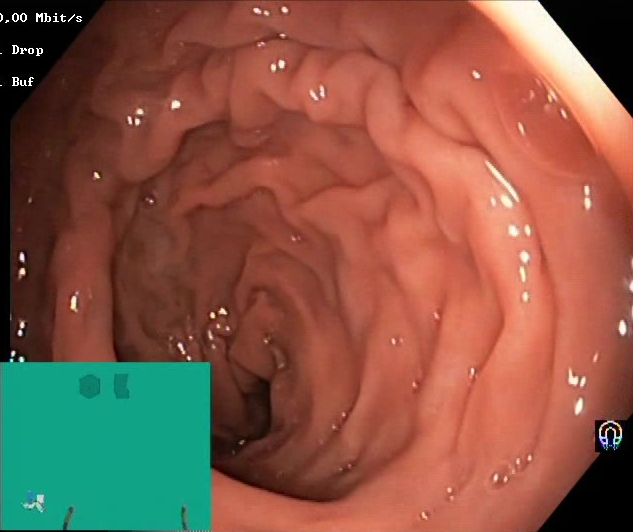{"modality": "lower-GI endoscopy", "tract": "lower GI tract", "category": "mucosal-view quality", "finding": "Boston Bowel Preparation Scale score 2\u20133 (adequate preparation)"}